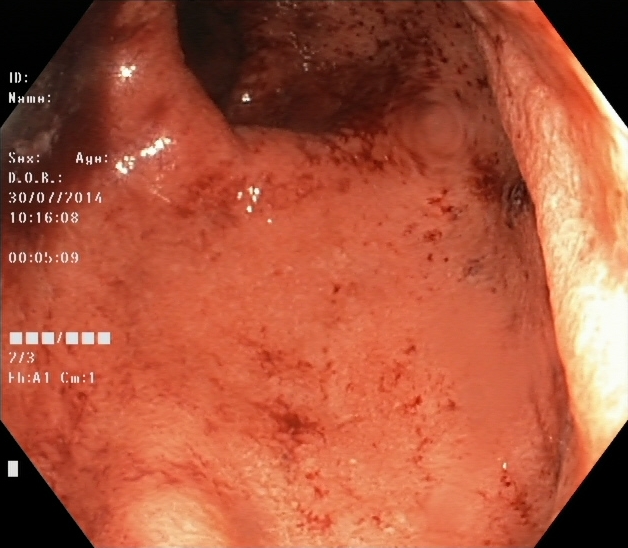UC, Mayo endoscopic subscore 2.